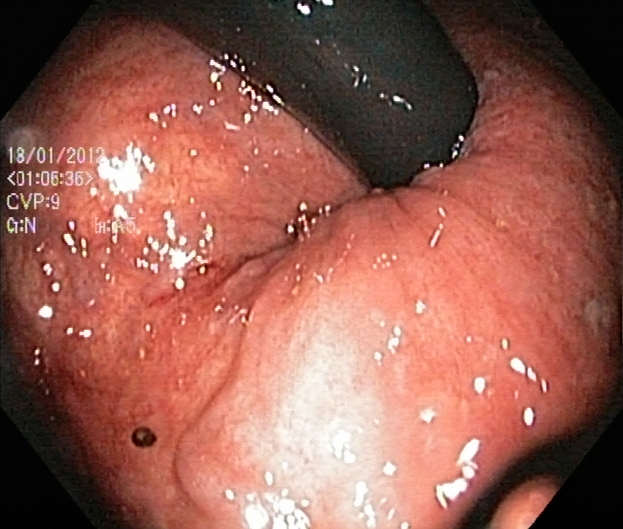{"modality": "lower gastrointestinal endoscopy", "finding": "rectum in retroflexion"}